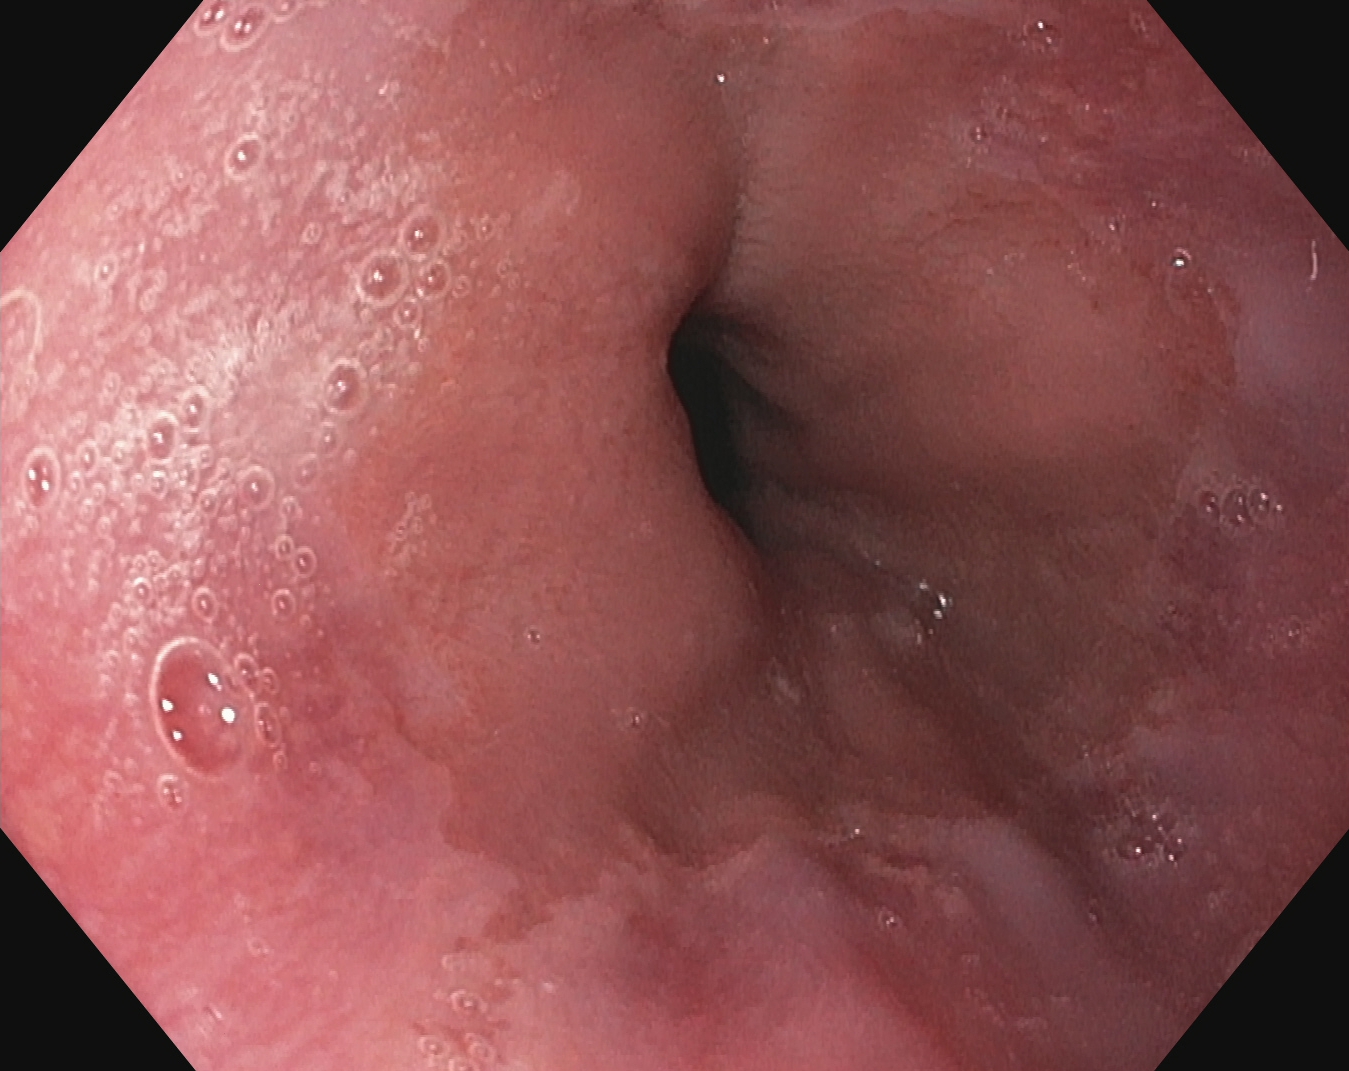This endoscopic image shows Z-line (gastroesophageal junction).